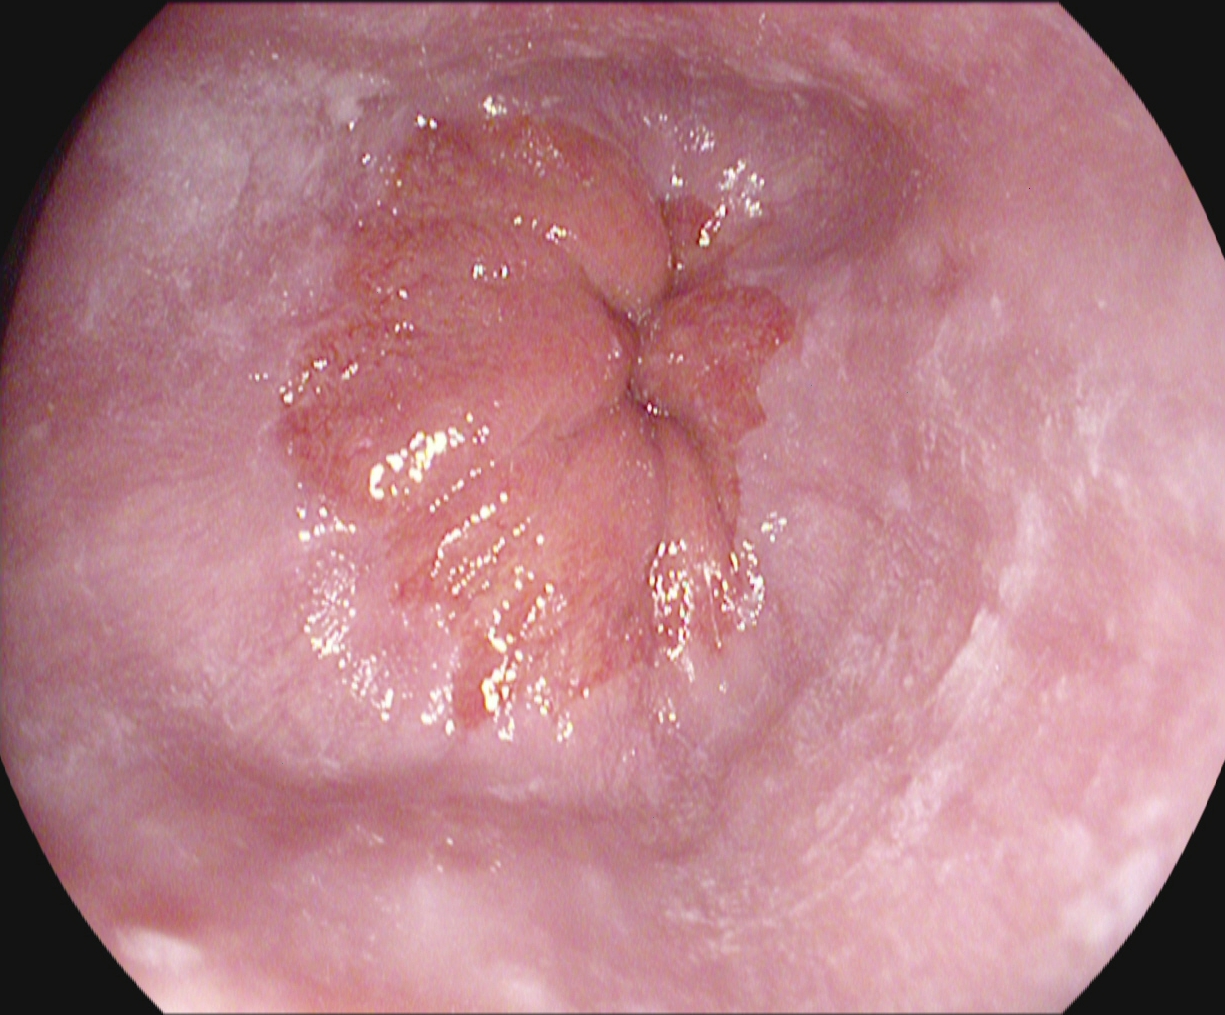modality: gastroscopy | tract: upper GI tract | finding: Z-line (gastroesophageal junction)